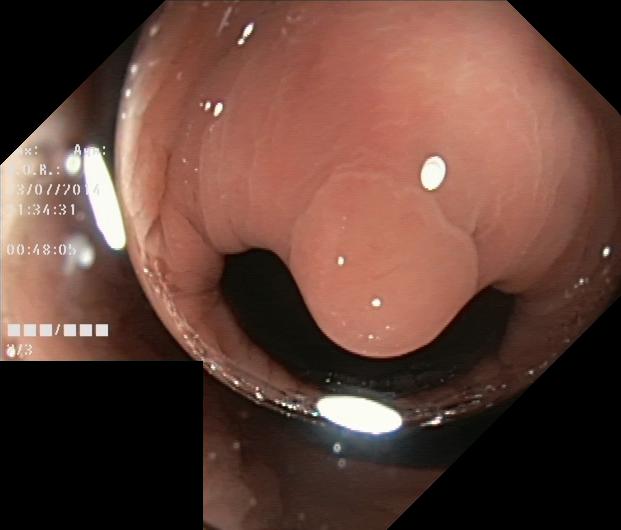PROCEDURE: Colonoscopy.
FINDINGS: Colorectal polyp(s).